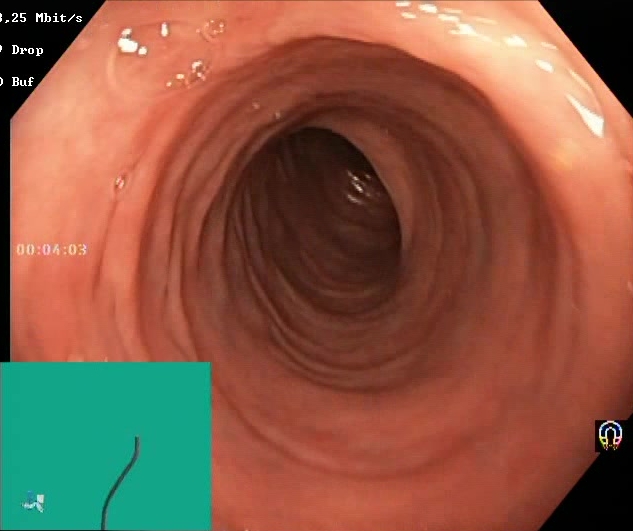Boston Bowel Preparation Scale score 2–3 (adequate preparation).